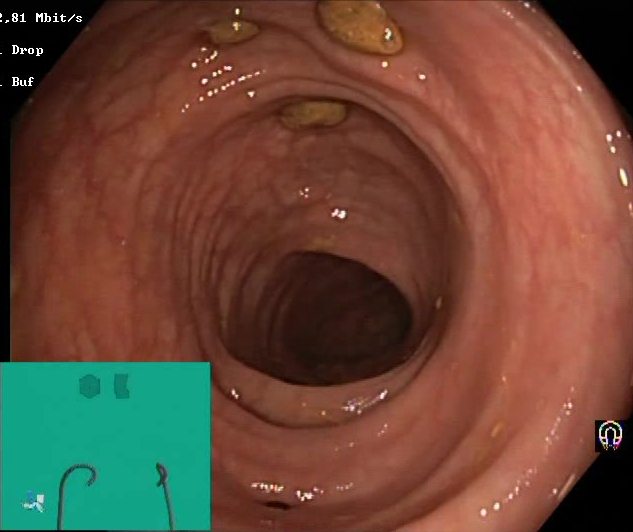Lower-GI endoscopy. Tract: lower GI tract. Finding: impacted stool.